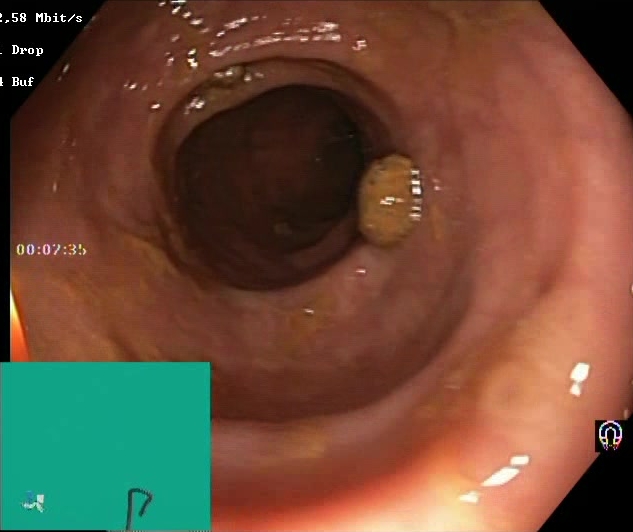BBPS score 2–3 (adequate preparation).